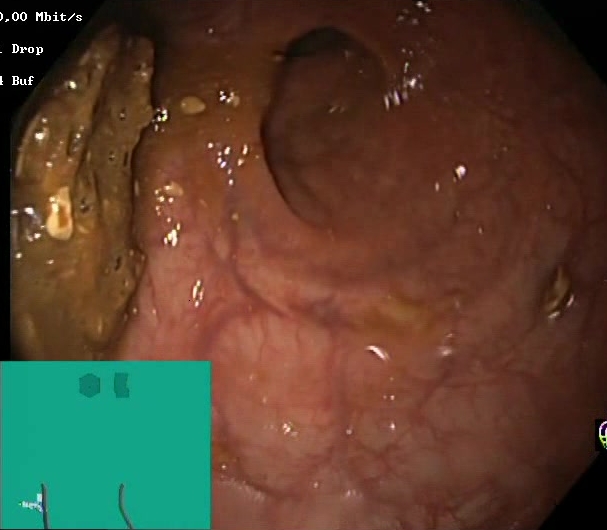modality: colonoscopy; tract: lower GI tract; finding: BBPS score 0–1 (inadequate preparation)